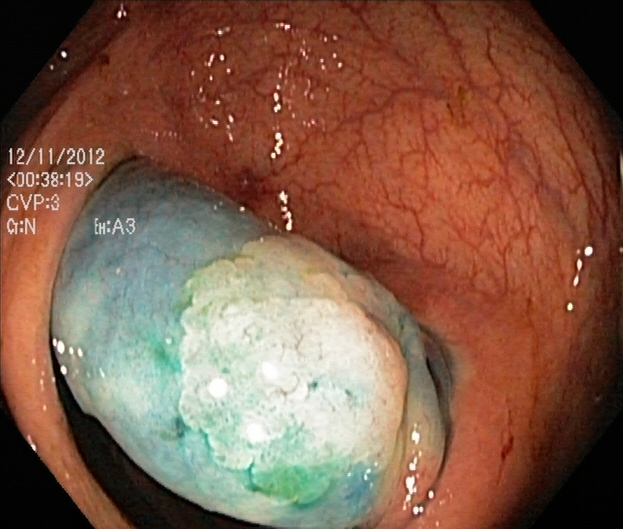{"modality": "lower-GI endoscopy", "finding": "dyed and lifted polyp (pre-resection)"}